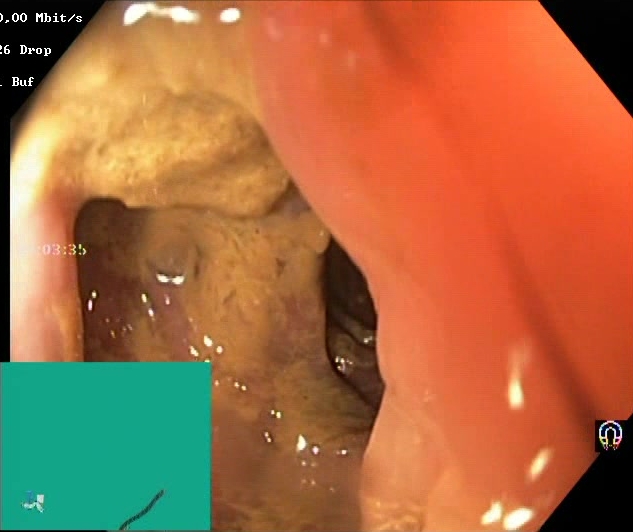BBPS score 0–1 (inadequate preparation).